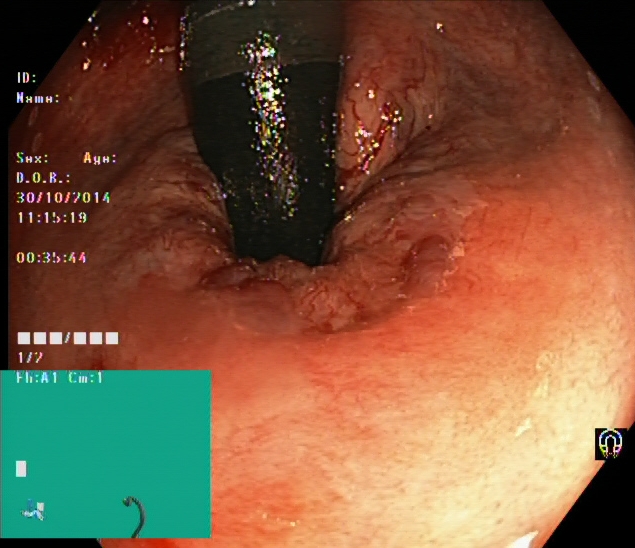PROCEDURE: Lower-GI endoscopy.
FINDINGS: Rectum in retroflexion.